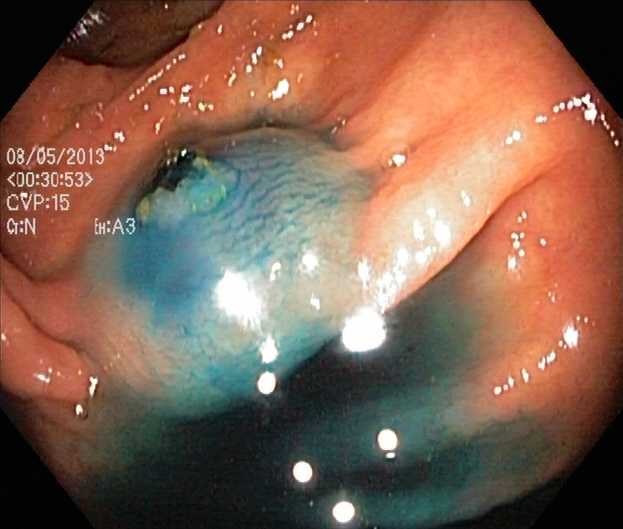{"modality": "lower gastrointestinal endoscopy", "finding": "dyed and lifted polyp (pre-resection)"}